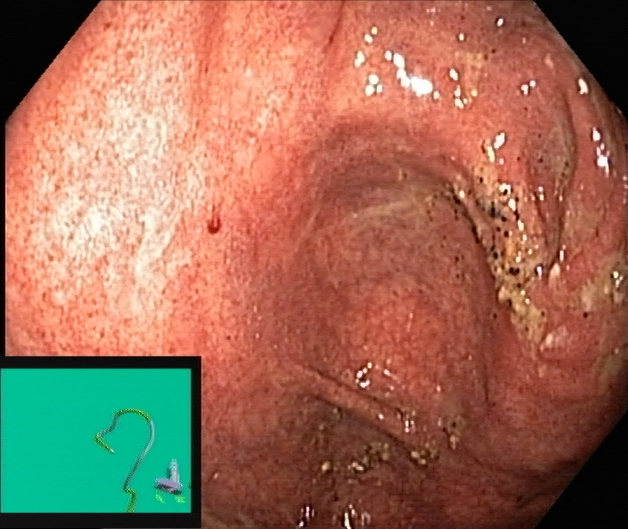modality: lower gastrointestinal endoscopy
tract: lower GI tract
finding: ulcerative colitis, Mayo endoscopic subscore 1